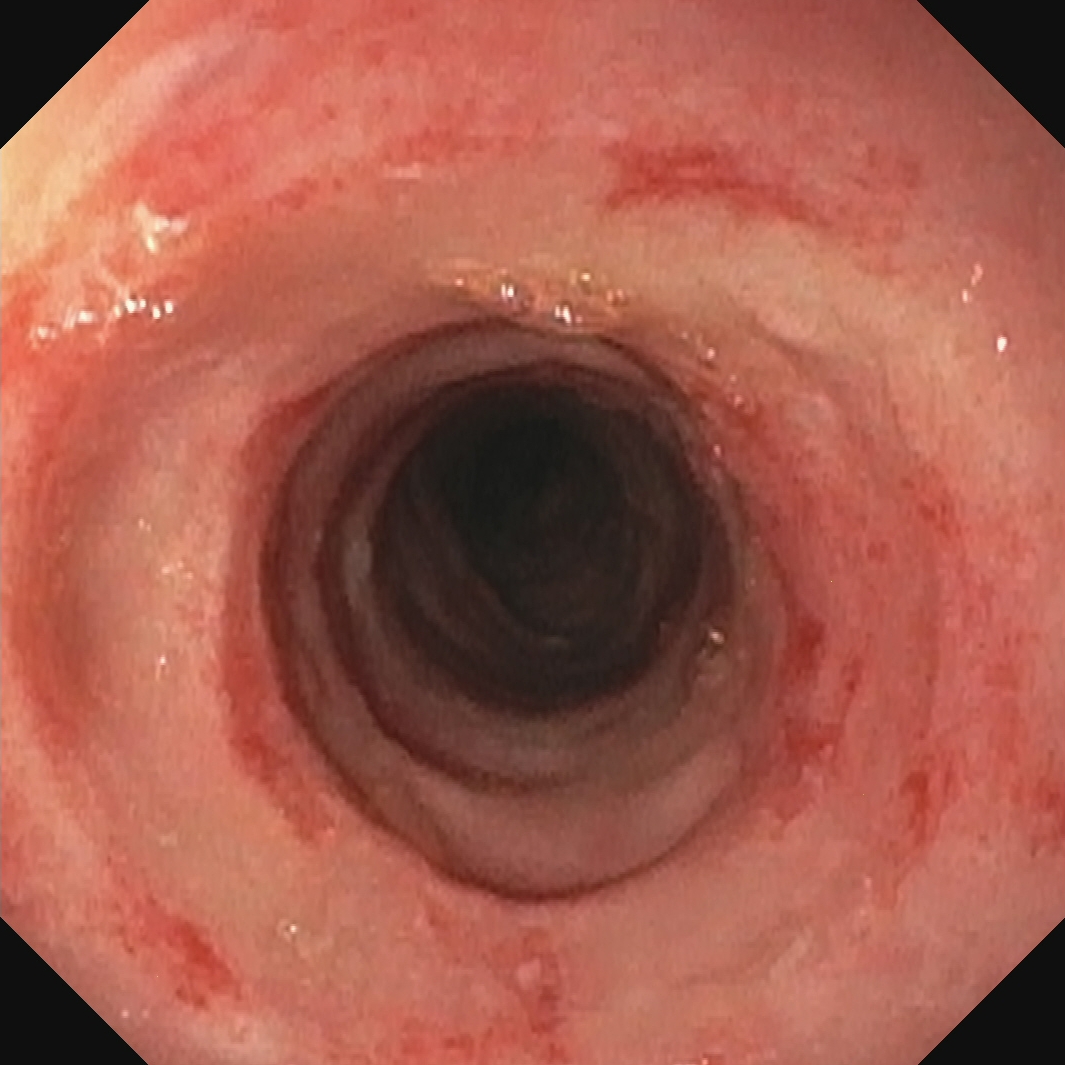This endoscopic image shows ulcerative colitis, Mayo endoscopic subscore 2.